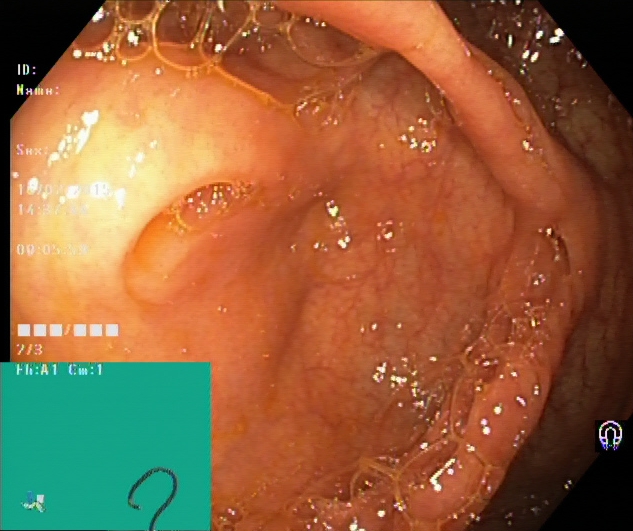{"modality": "lower gastrointestinal endoscopy", "tract": "lower GI tract", "finding": "cecum"}